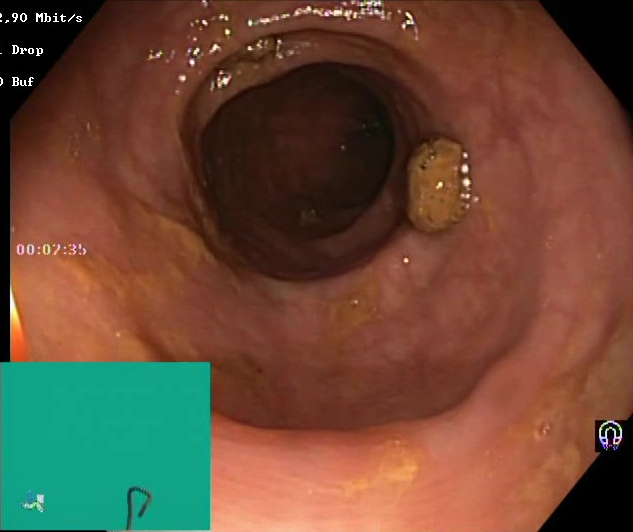{"modality": "colonoscopy", "category": "mucosal-view quality", "finding": "impacted stool"}